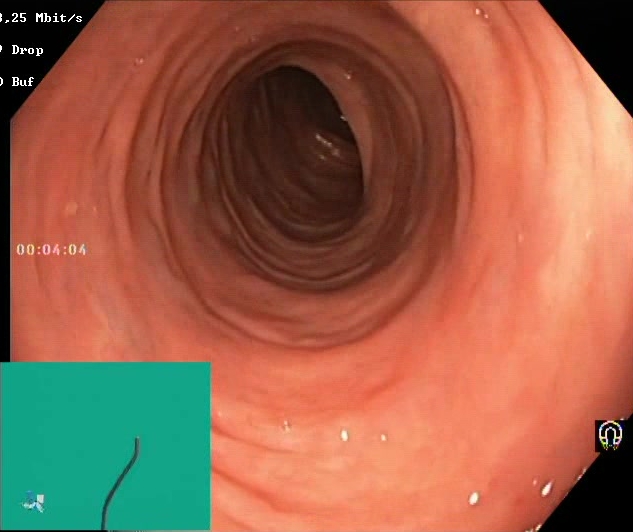Boston Bowel Preparation Scale score 2–3 (adequate preparation).